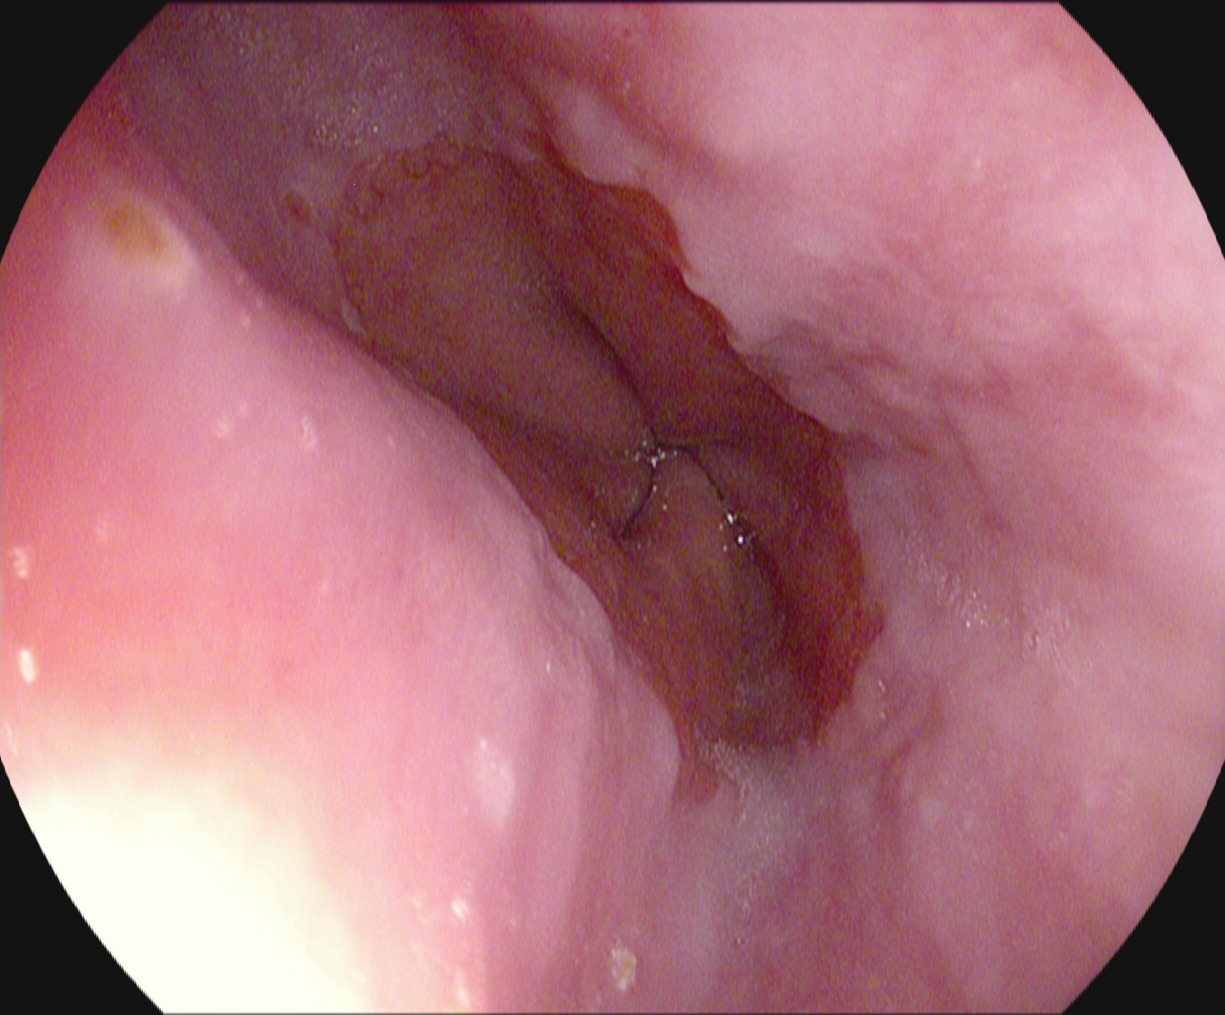Z-line (gastroesophageal junction).